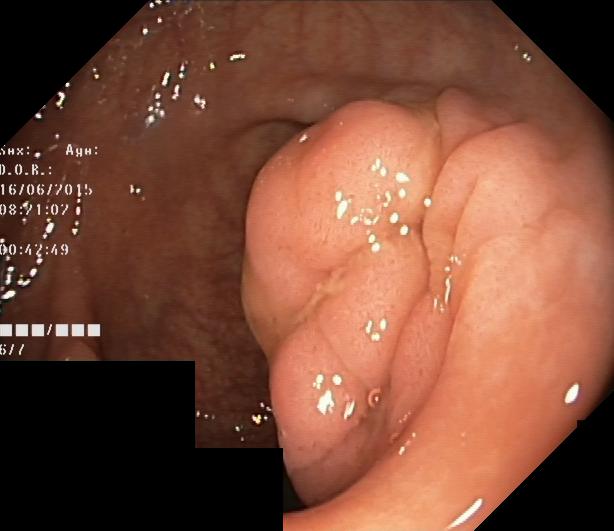colorectal polyp(s).